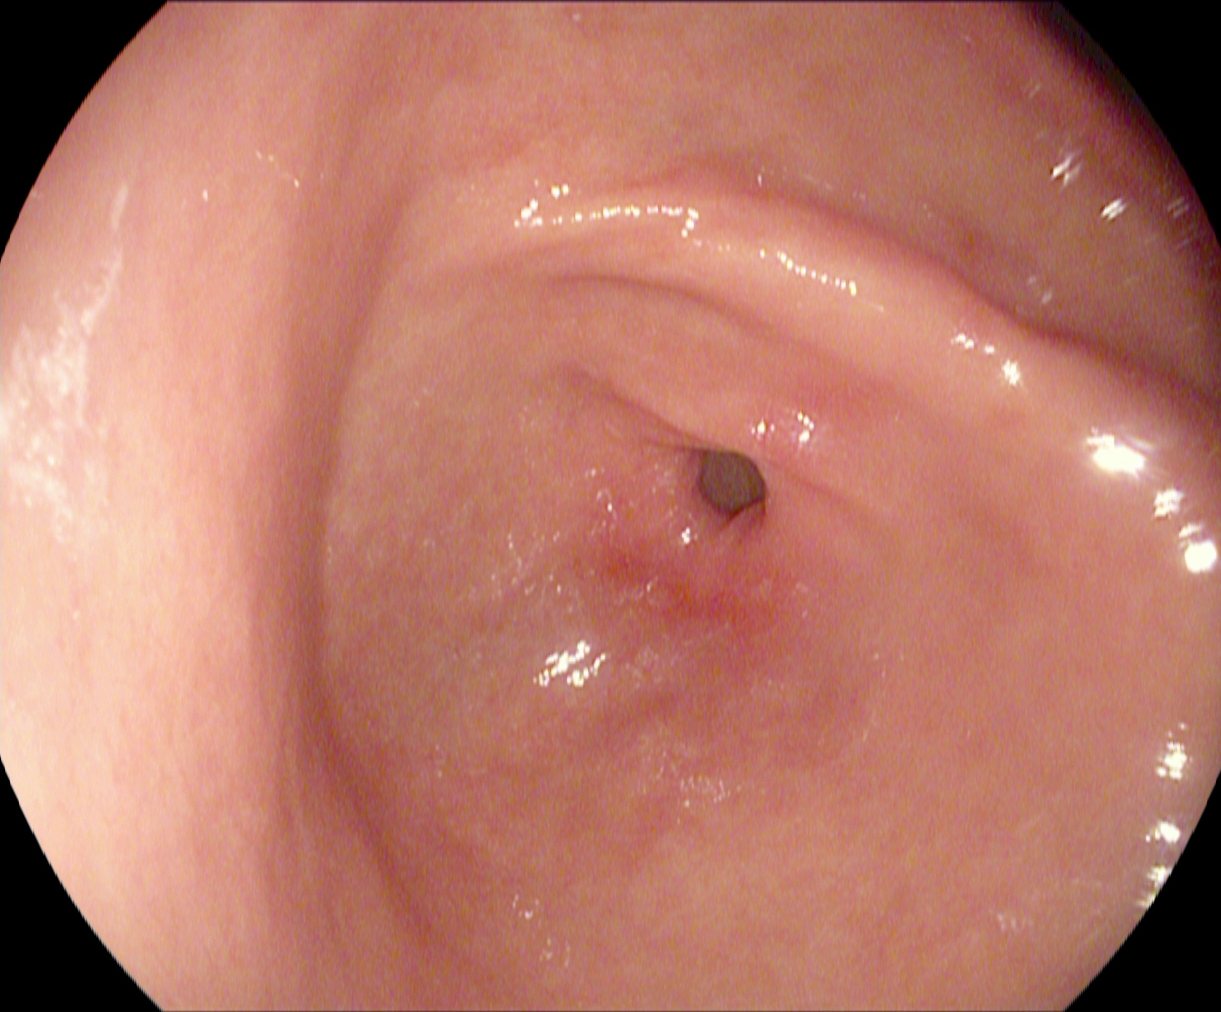PROCEDURE: EGD.
CATEGORY: Anatomical landmark.
FINDINGS: Pylorus.